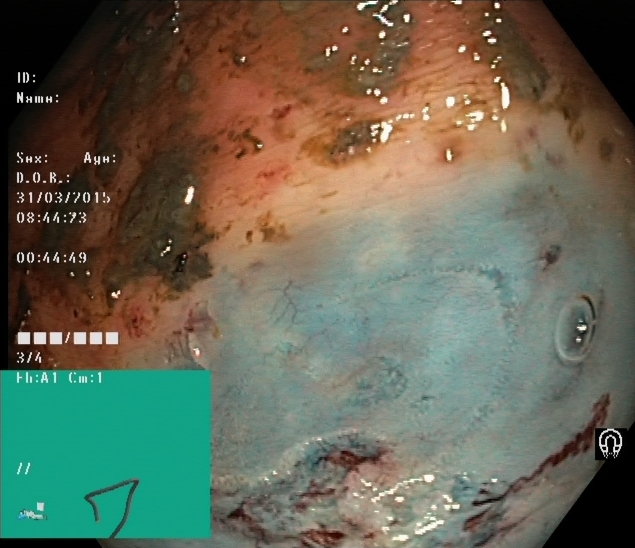{"modality": "colonoscopy", "tract": "lower GI tract", "category": "therapeutic intervention", "finding": "dyed resection margins (post-polypectomy)"}